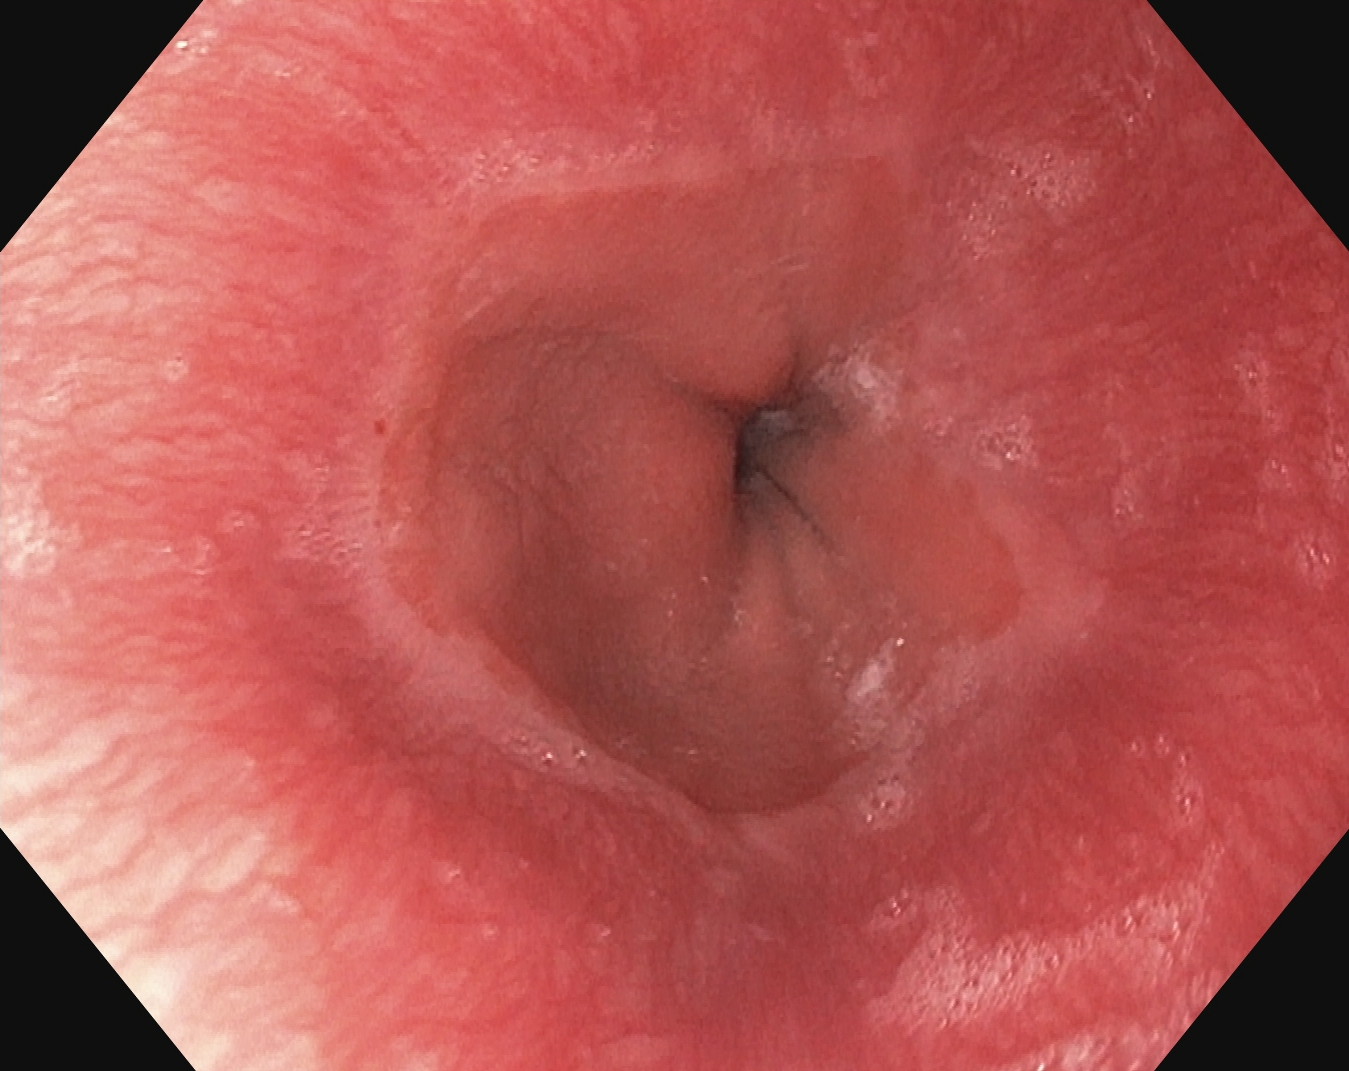{"modality": "esophagogastroduodenoscopy", "tract": "upper GI tract", "finding": "Z-line (gastroesophageal junction)"}